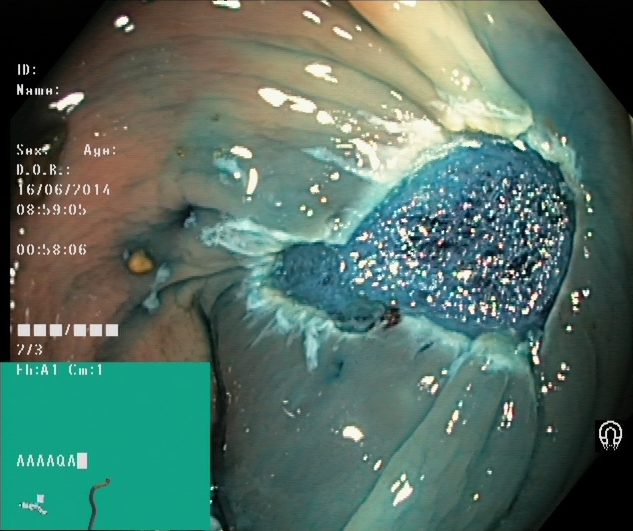This endoscopic image of the lower GI tract shows dyed resection margins (post-polypectomy).